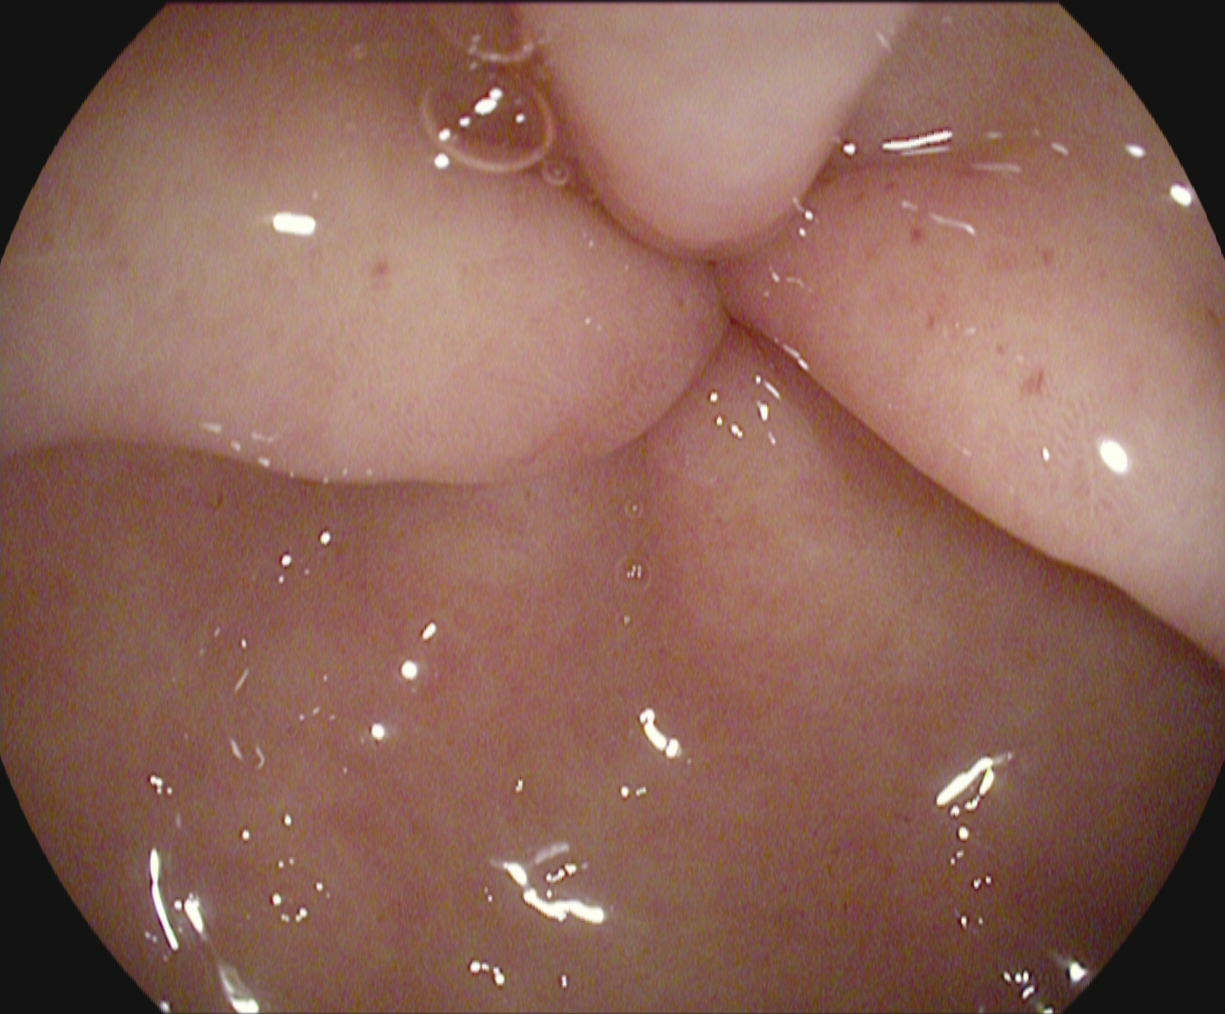Upper-GI endoscopy — pylorus.